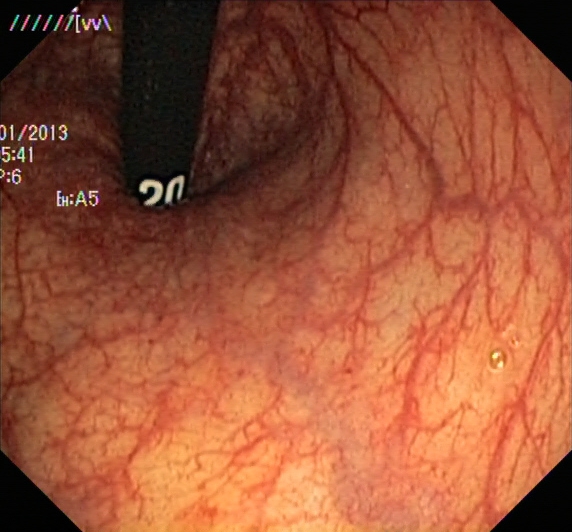This endoscopy frame of the lower GI tract shows rectum in retroflexion.